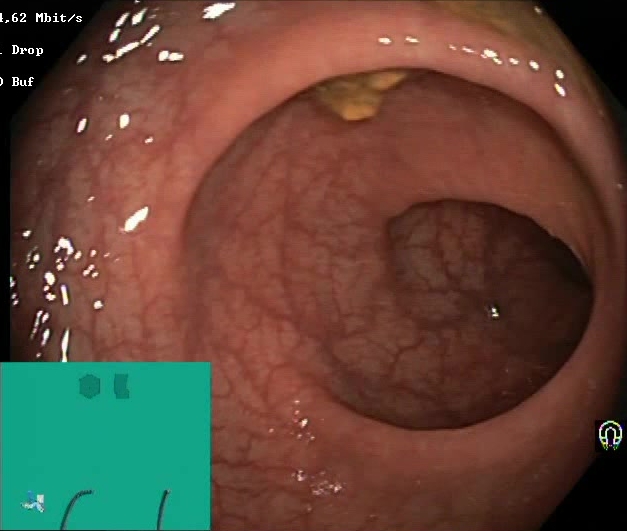{"modality": "colonoscopy", "tract": "lower GI tract", "finding": "BBPS score 2\u20133 (adequate preparation)"}